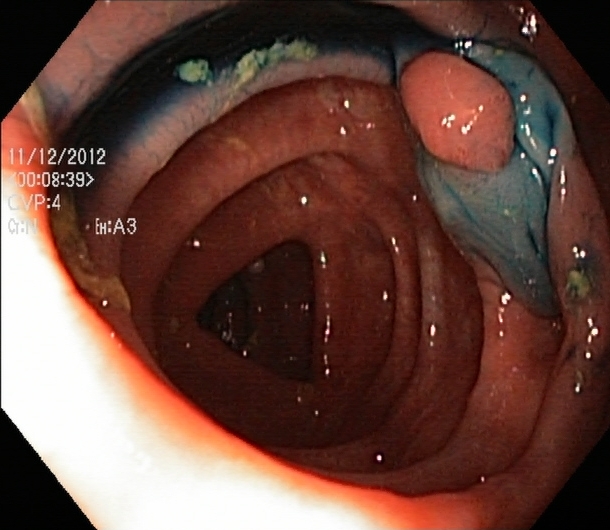modality: colonoscopy; finding: dyed and lifted polyp (pre-resection)